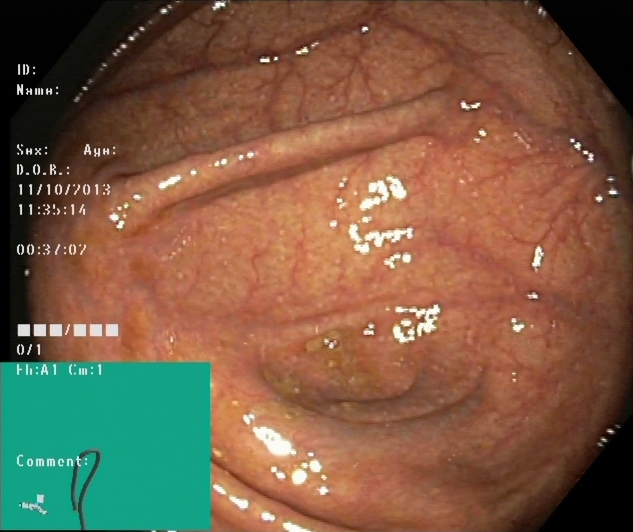modality: colonoscopy | tract: lower GI tract | finding: cecum